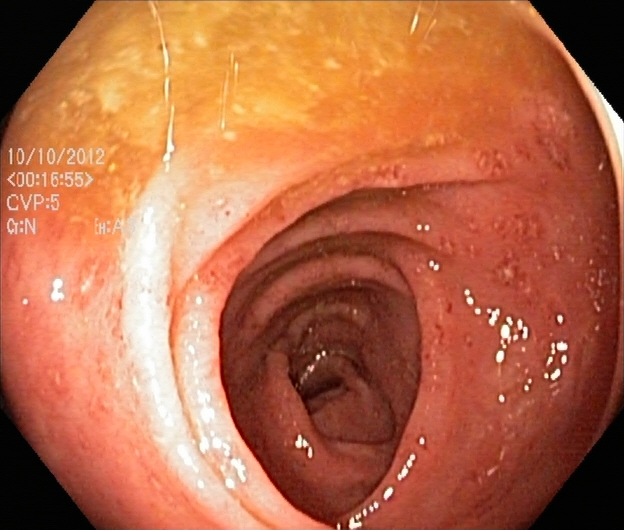This endoscopy frame of the lower GI tract shows UC, Mayo endoscopic subscore 2.